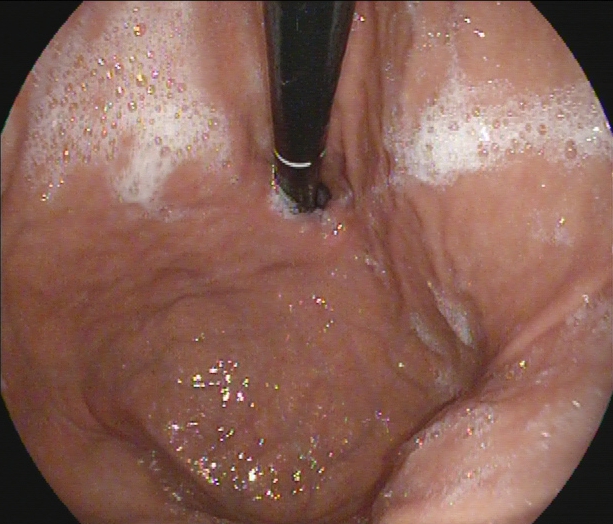Endoscopic frame of the upper GI tract showing stomach in retroflexion.